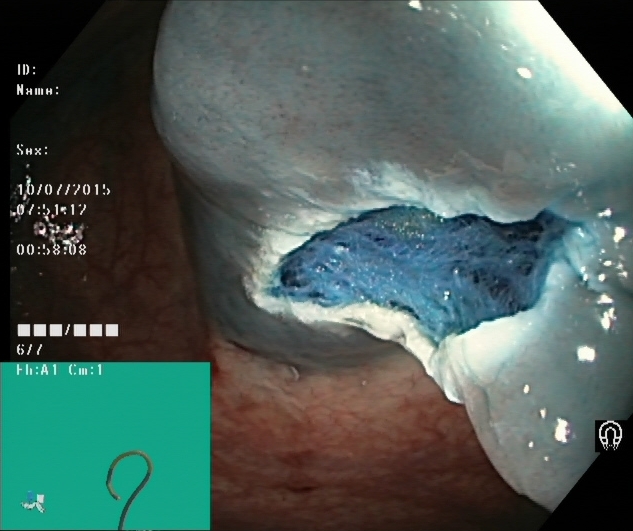{"modality": "lower-GI endoscopy", "tract": "lower GI tract", "category": "therapeutic intervention", "finding": "dyed resection margins (post-polypectomy)"}